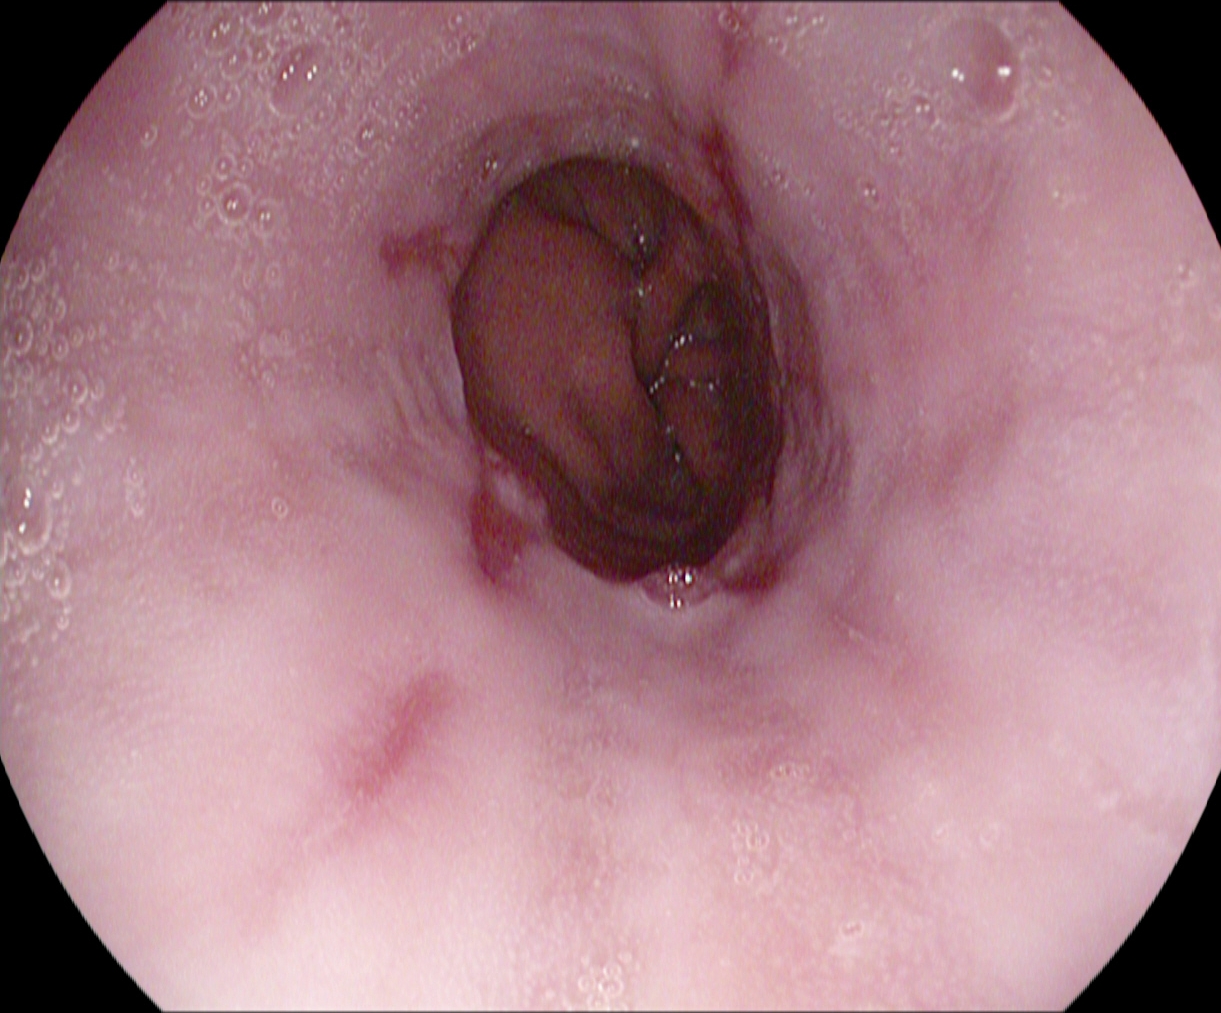PROCEDURE: Upper-GI endoscopy.
CATEGORY: Pathological finding.
FINDINGS: Reflux esophagitis, LA grade A.